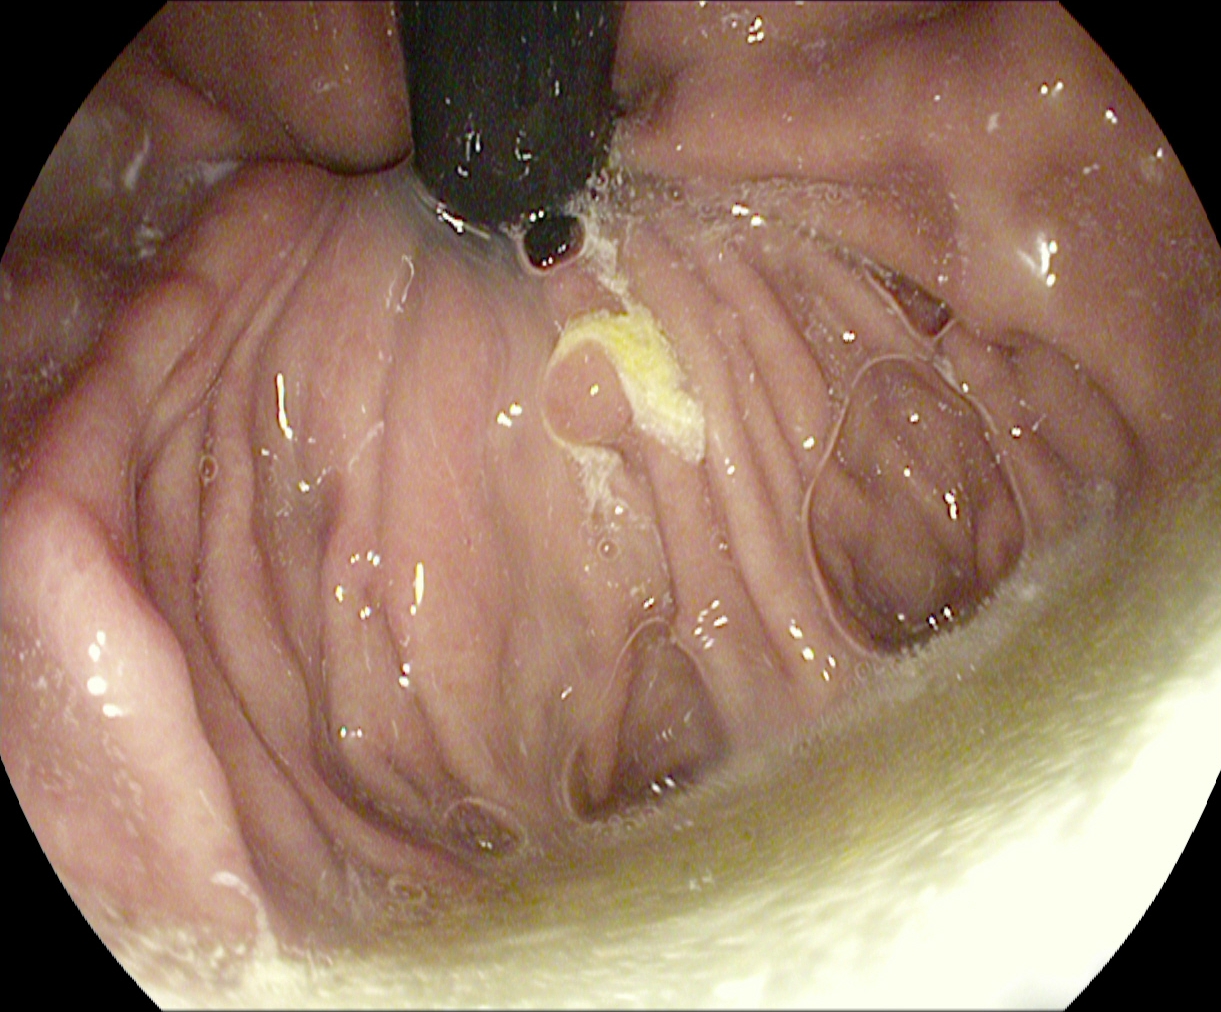{"modality": "EGD", "category": "anatomical landmark", "finding": "stomach in retroflexion"}